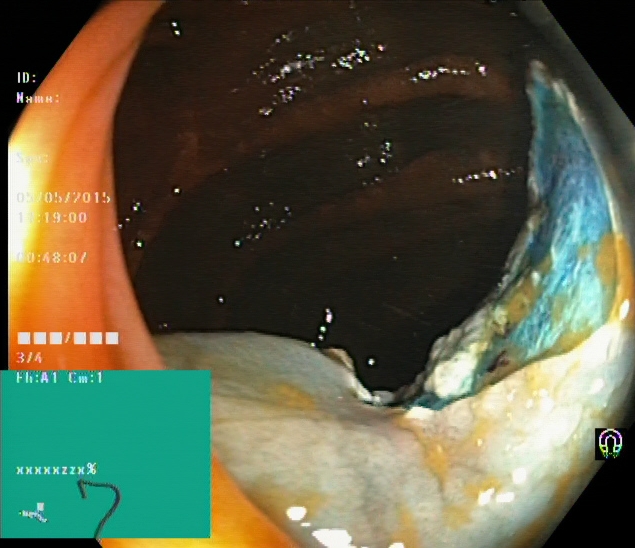Lower-GI endoscopy. Therapeutic intervention. Finding: dyed resection margins (post-polypectomy).